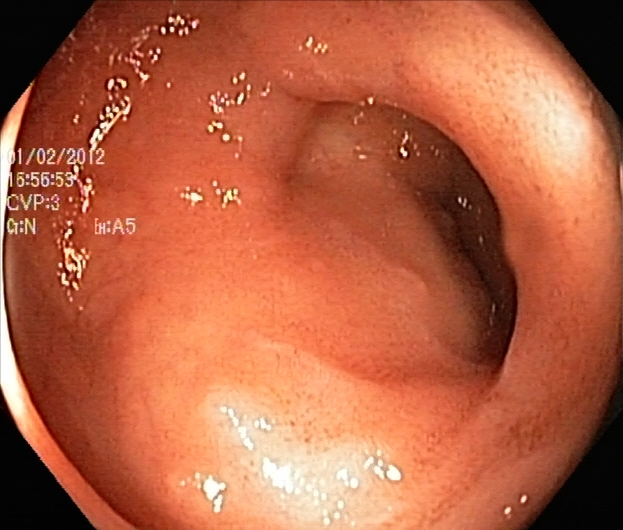Colonoscopy — ulcerative colitis, Mayo endoscopic subscore 2.